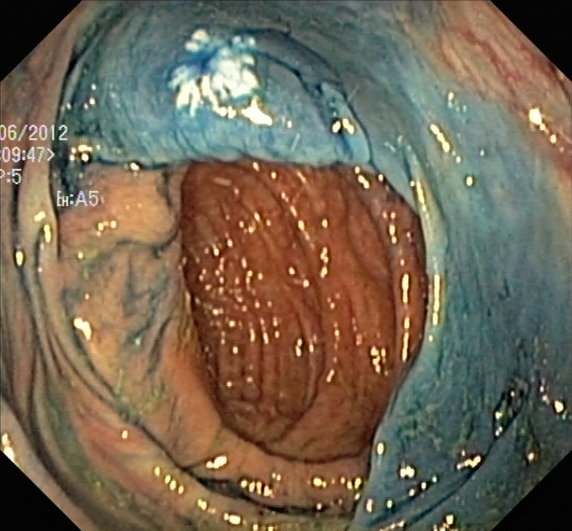Endoscopy image showing dyed resection margins (post-polypectomy).